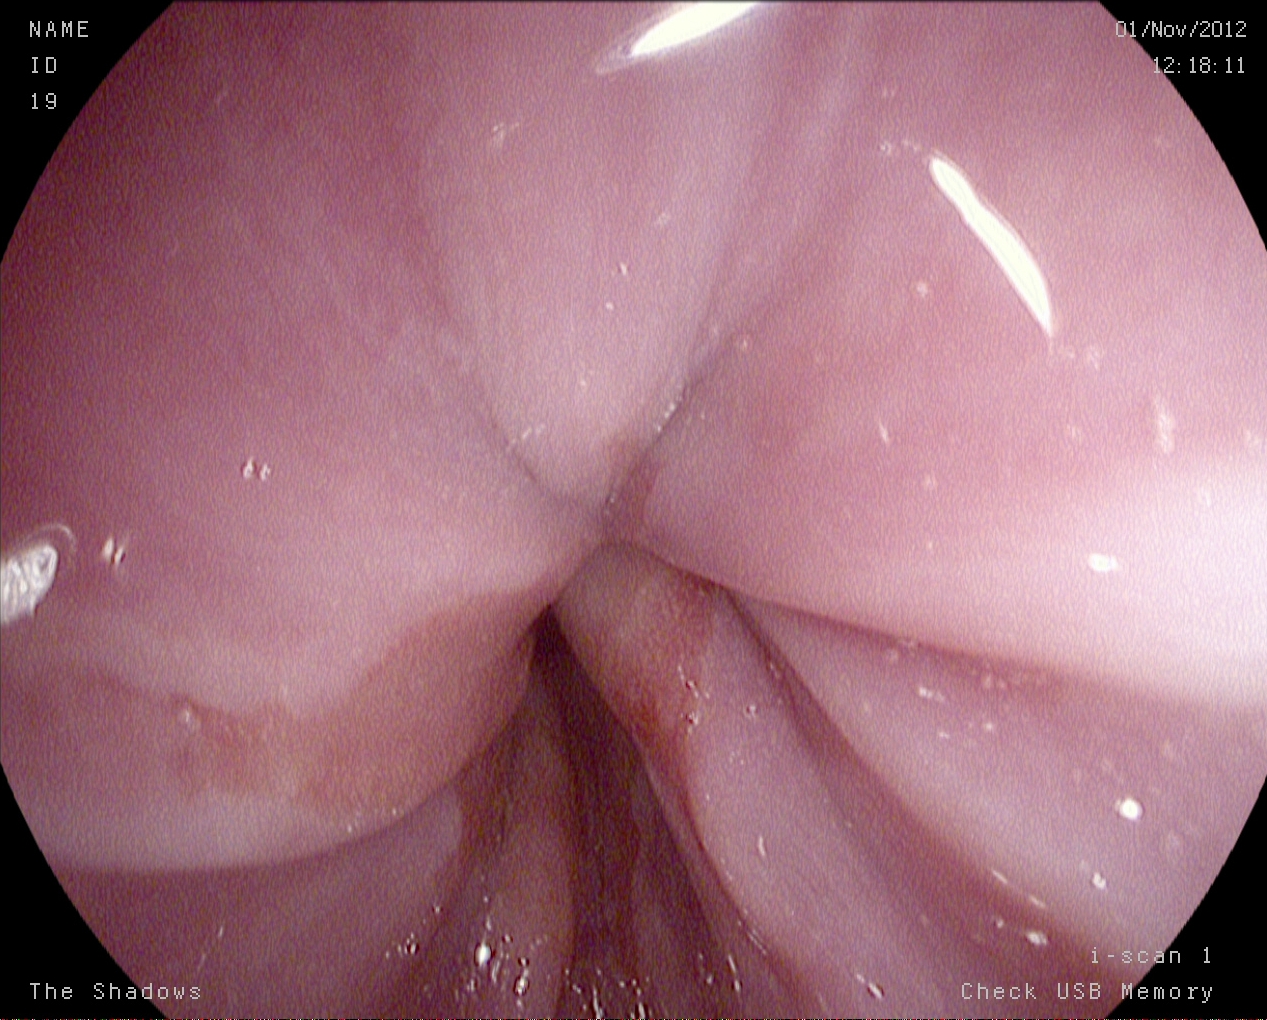This endoscopic image of the upper GI tract shows Z-line (gastroesophageal junction).